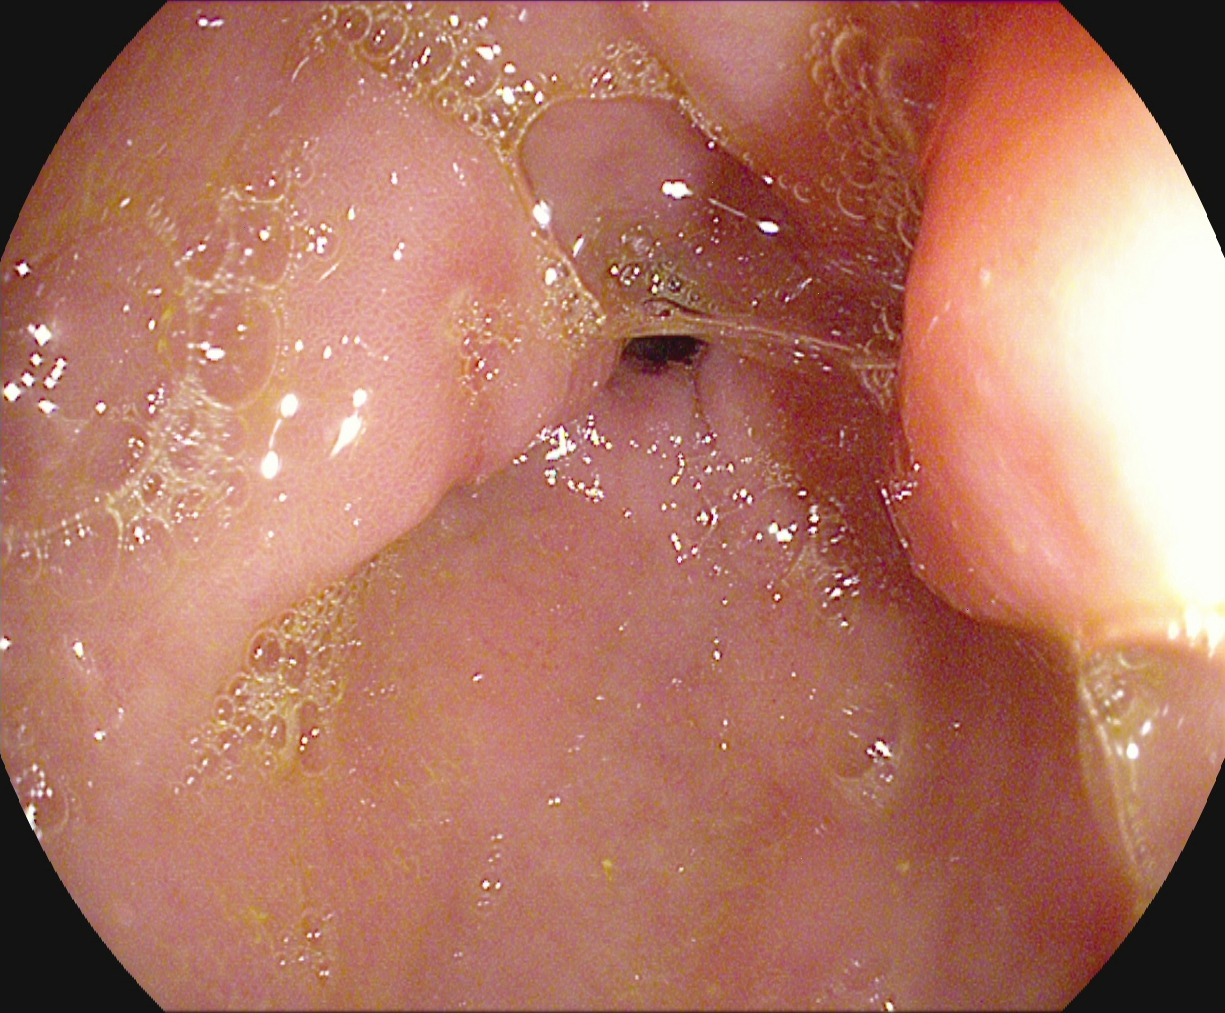{"modality": "EGD", "tract": "upper GI tract", "finding": "pylorus"}